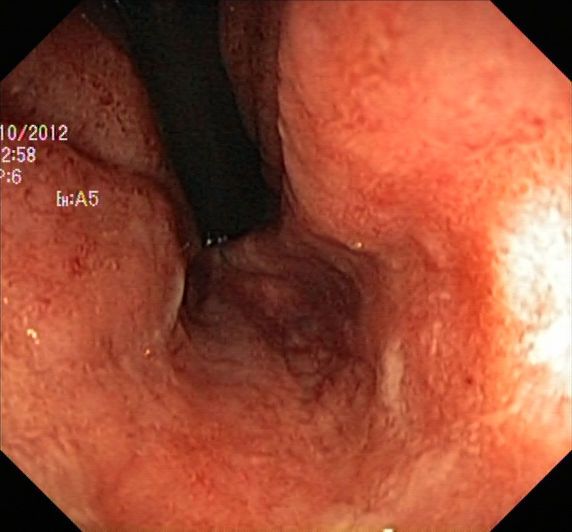Lower-GI endoscopy. Finding: ulcerative colitis, Mayo endoscopic subscore 2.